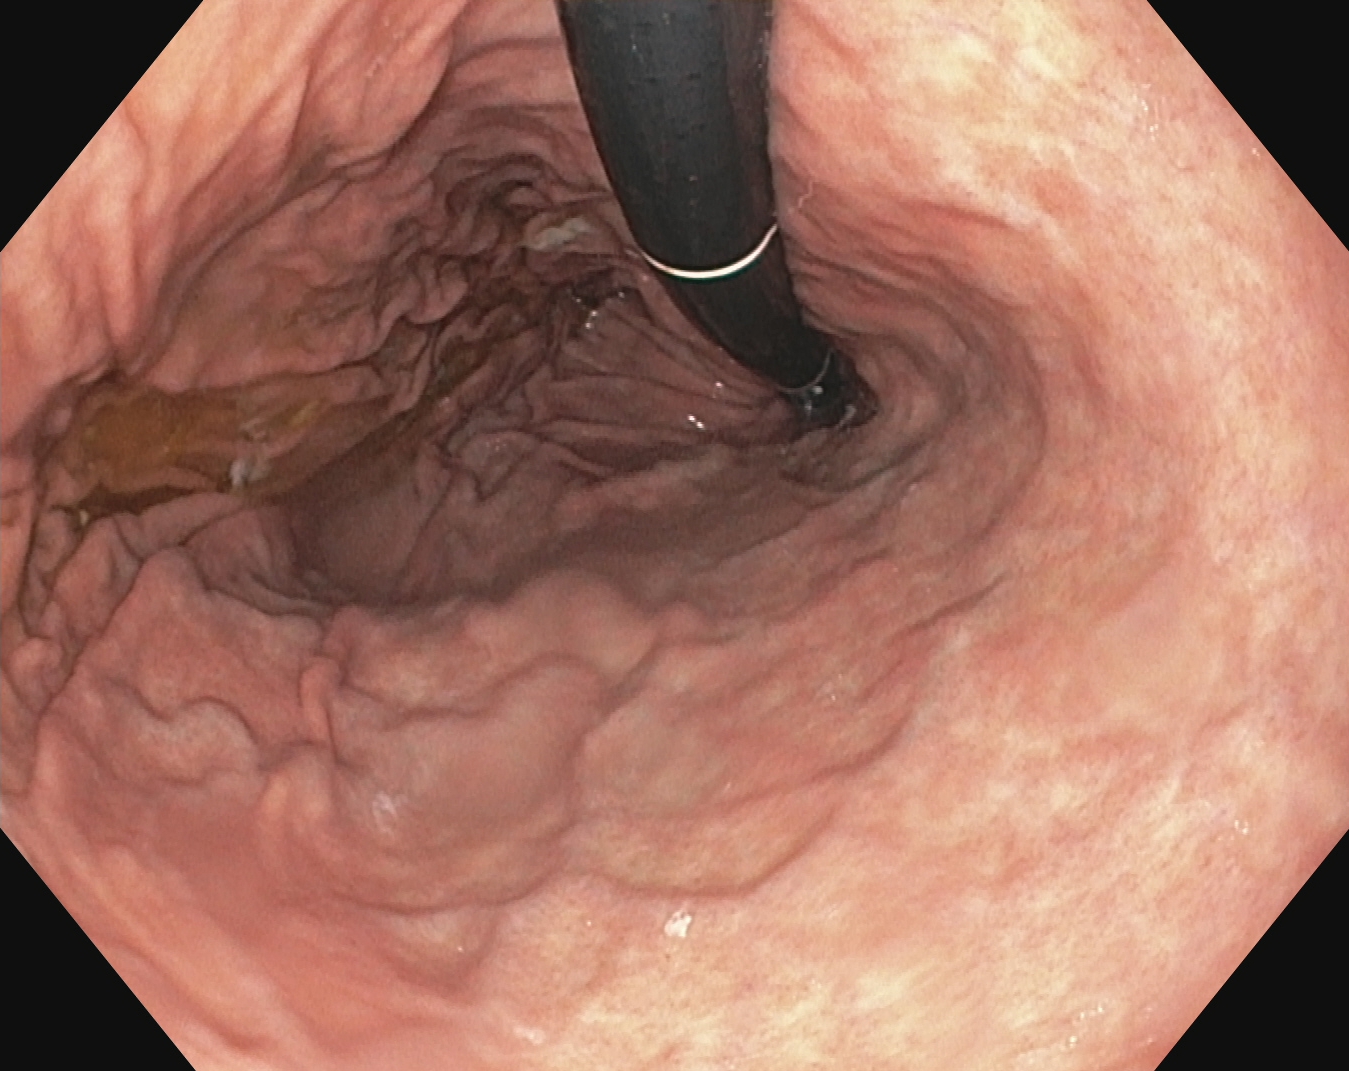Stomach in retroflexion.